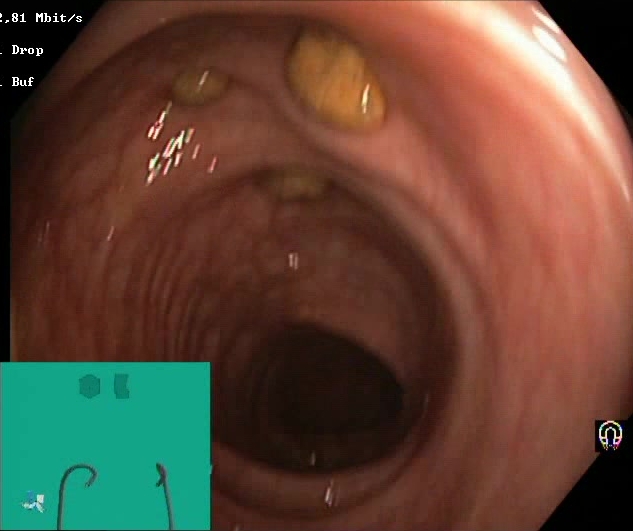PROCEDURE: Lower gastrointestinal endoscopy.
CATEGORY: Mucosal-view quality.
FINDINGS: Impacted stool.